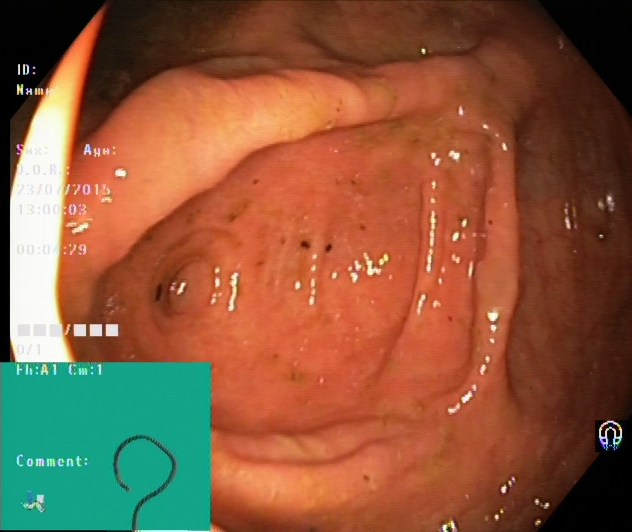Endoscopic image of the lower GI tract showing cecum.